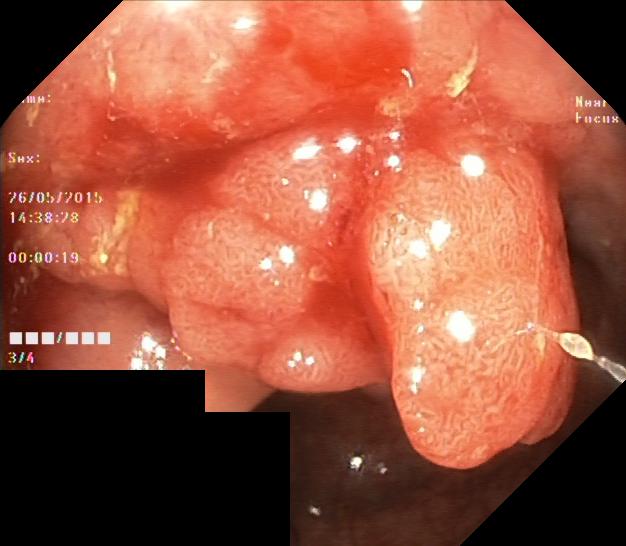This endoscopy frame shows colorectal polyp(s).